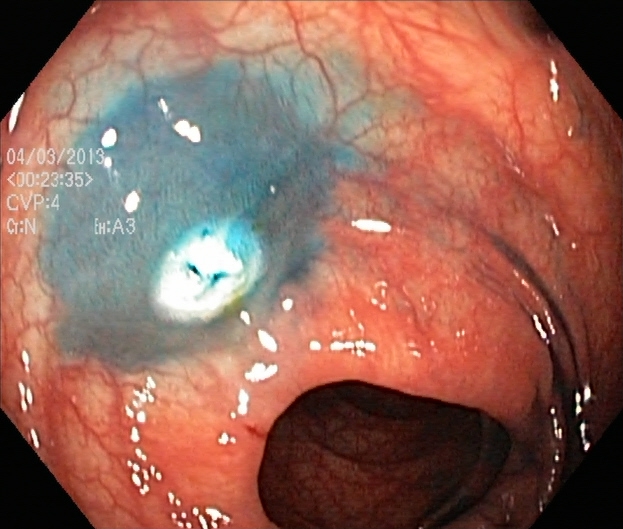Endoscopic image of the lower GI tract showing dyed resection margins (post-polypectomy).